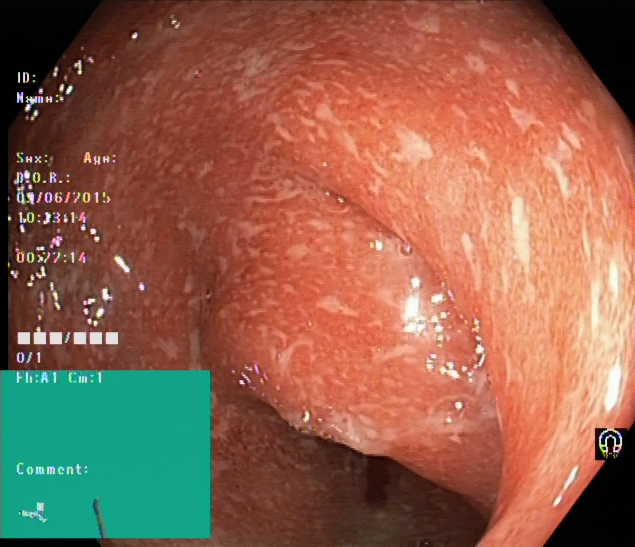{"modality": "colonoscopy", "category": "pathological finding", "finding": "ulcerative colitis, Mayo endoscopic subscore 2"}